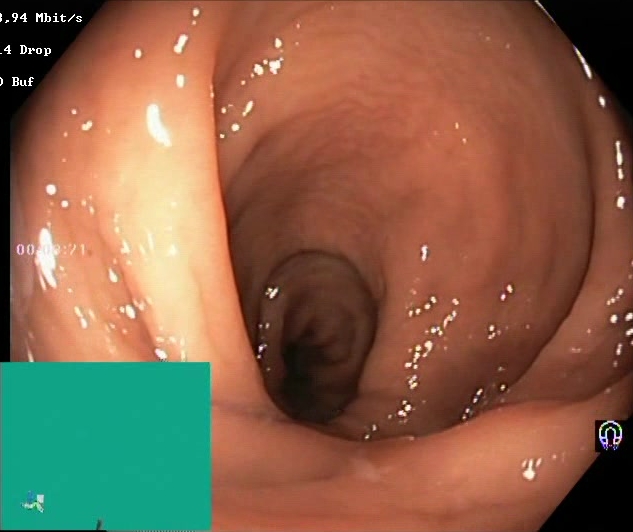GI endoscopy image of the lower GI tract showing BBPS score 2–3 (adequate preparation).